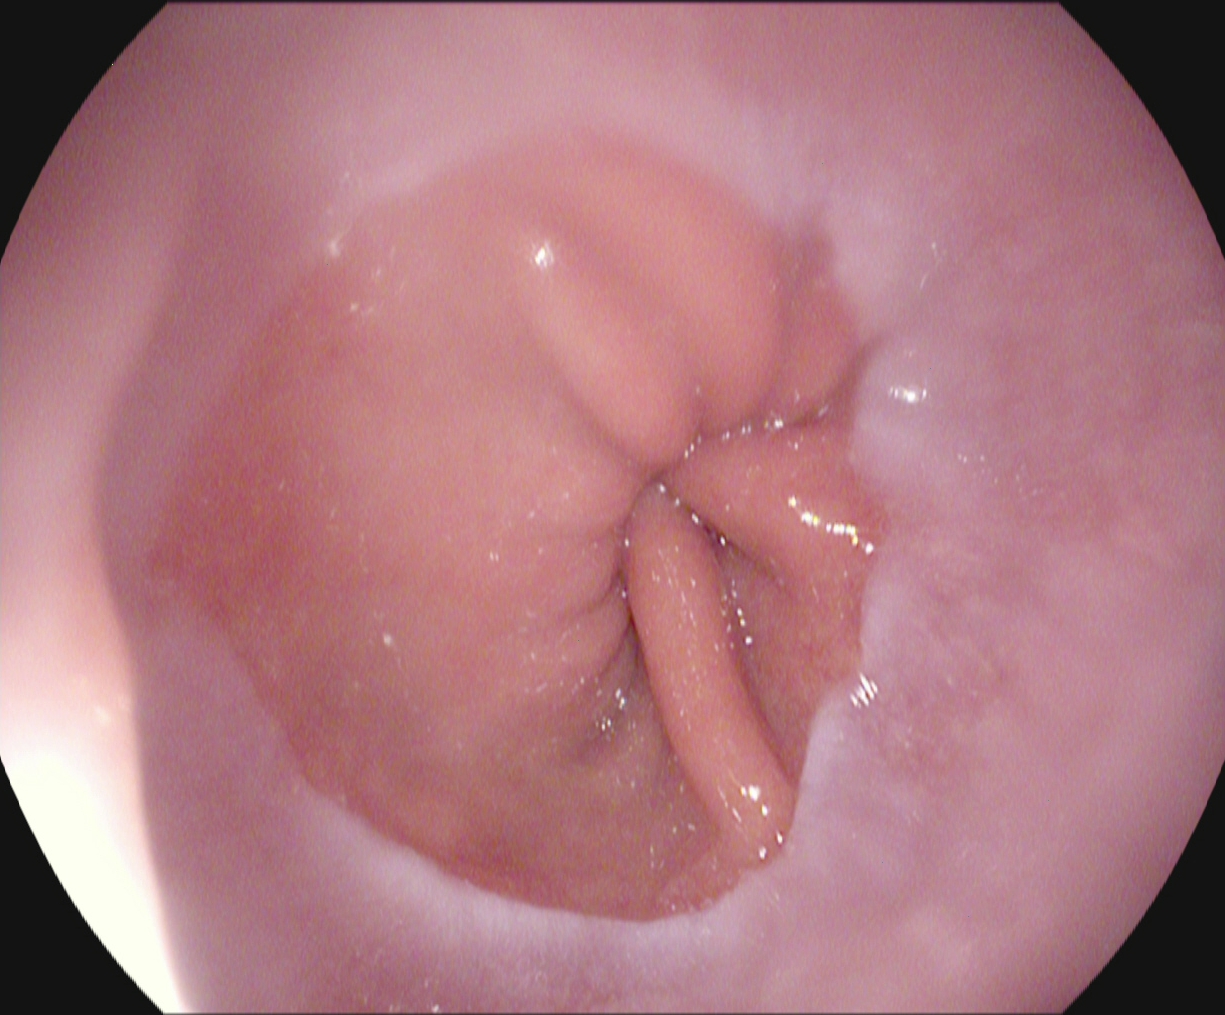GI endoscopy image of the upper GI tract showing Z-line (gastroesophageal junction).